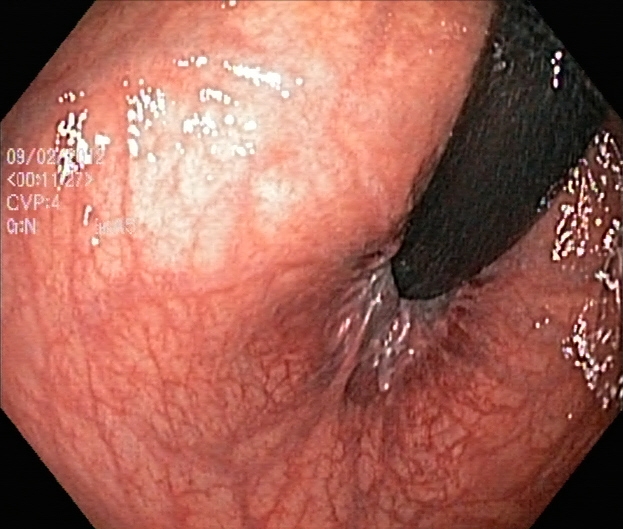{"modality": "lower gastrointestinal endoscopy", "finding": "rectum in retroflexion"}